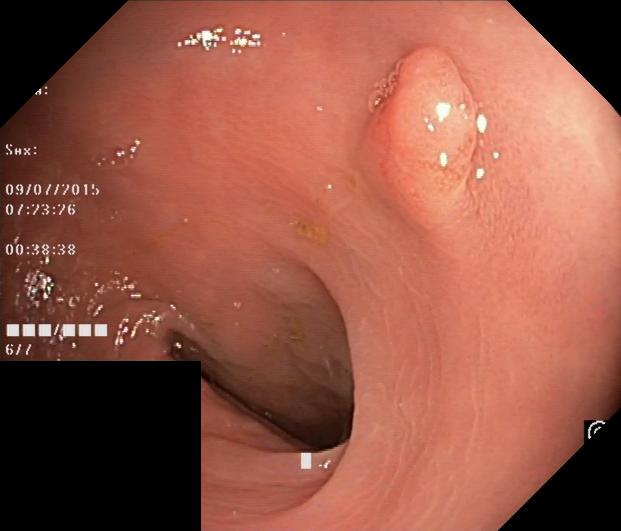This endoscopy frame shows colorectal polyp(s).